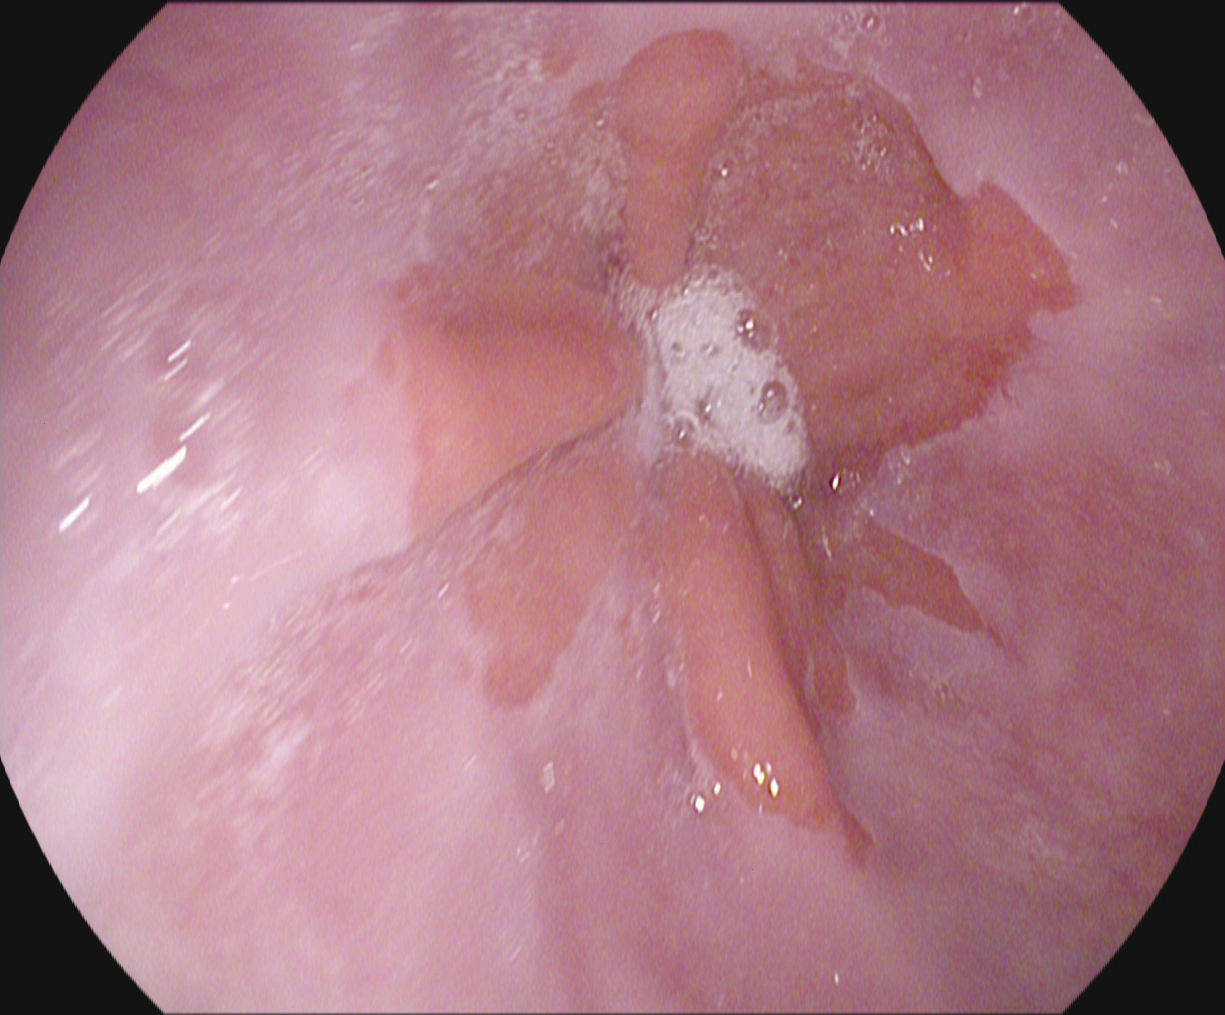modality: gastroscopy; tract: upper GI tract; finding: Z-line (gastroesophageal junction)